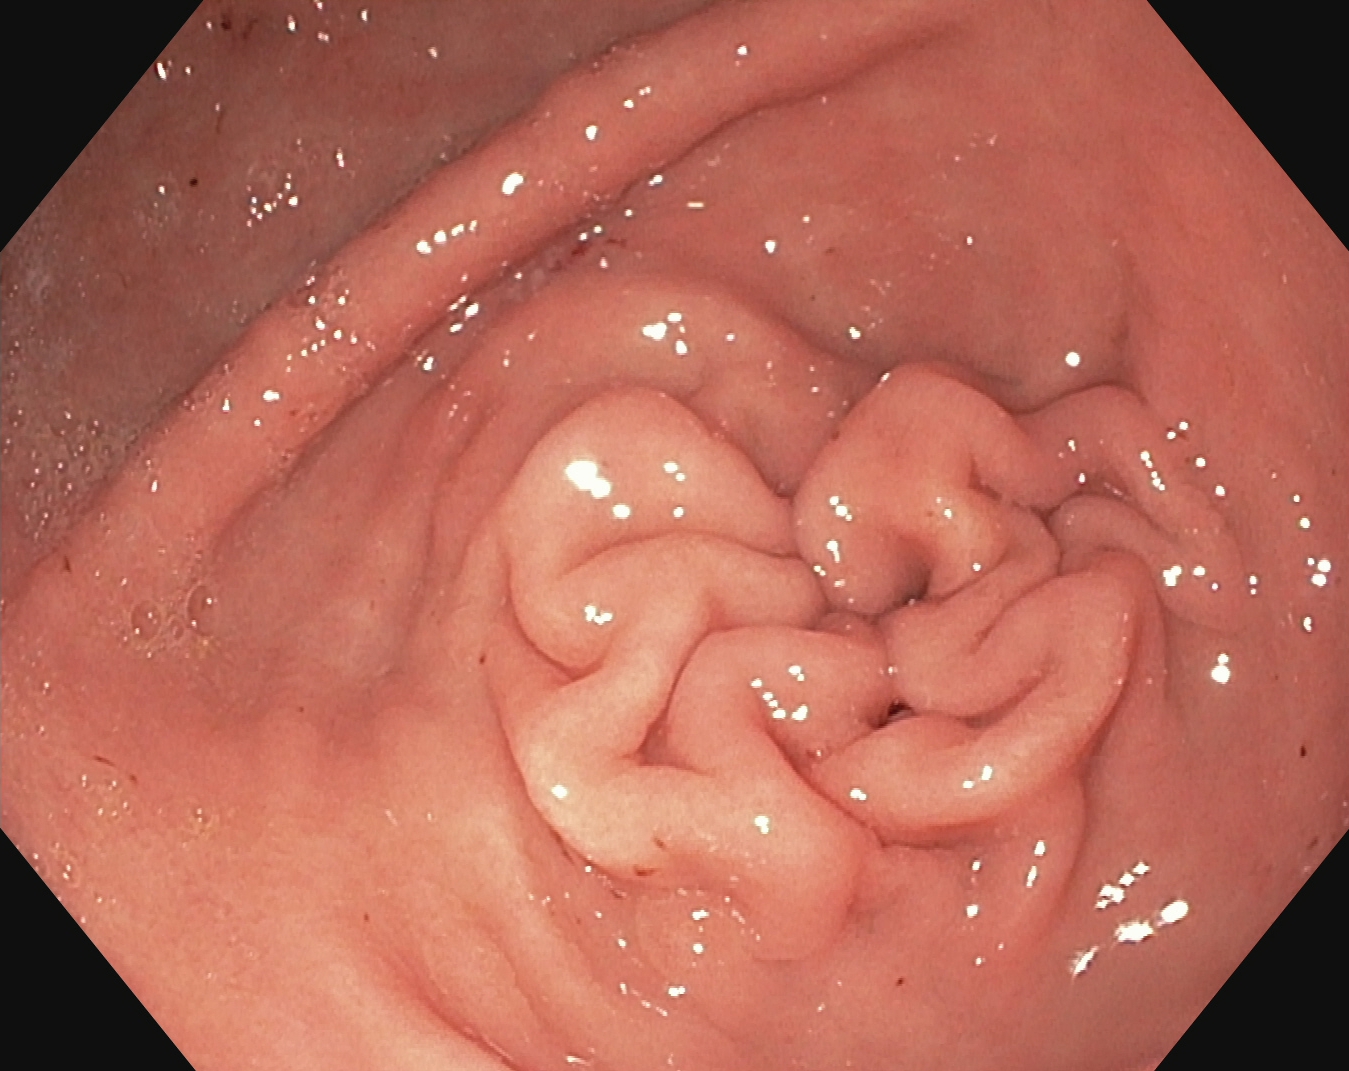This endoscopy frame of the upper GI tract shows pylorus.